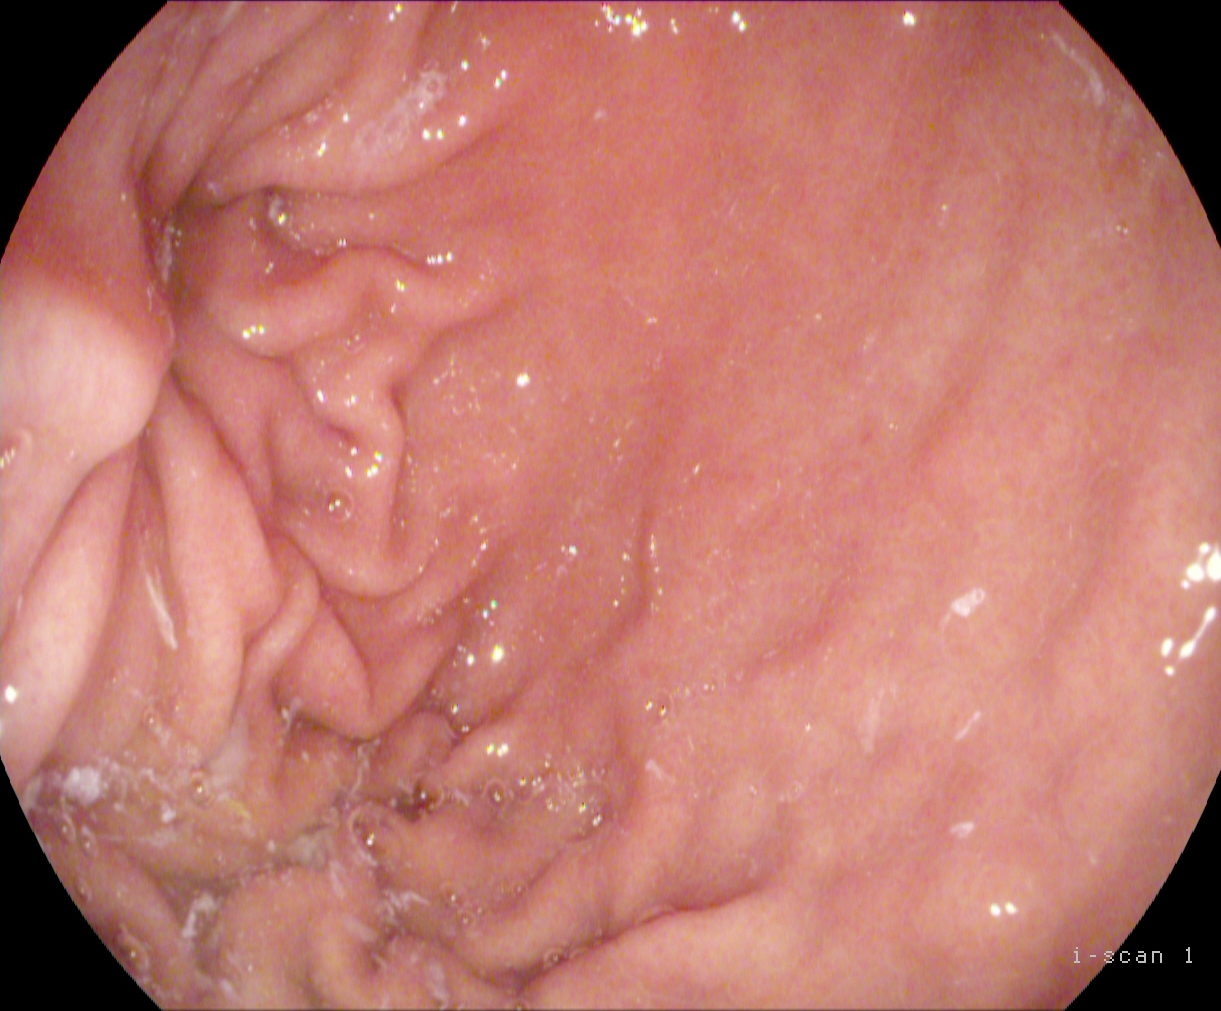EGD — pylorus.